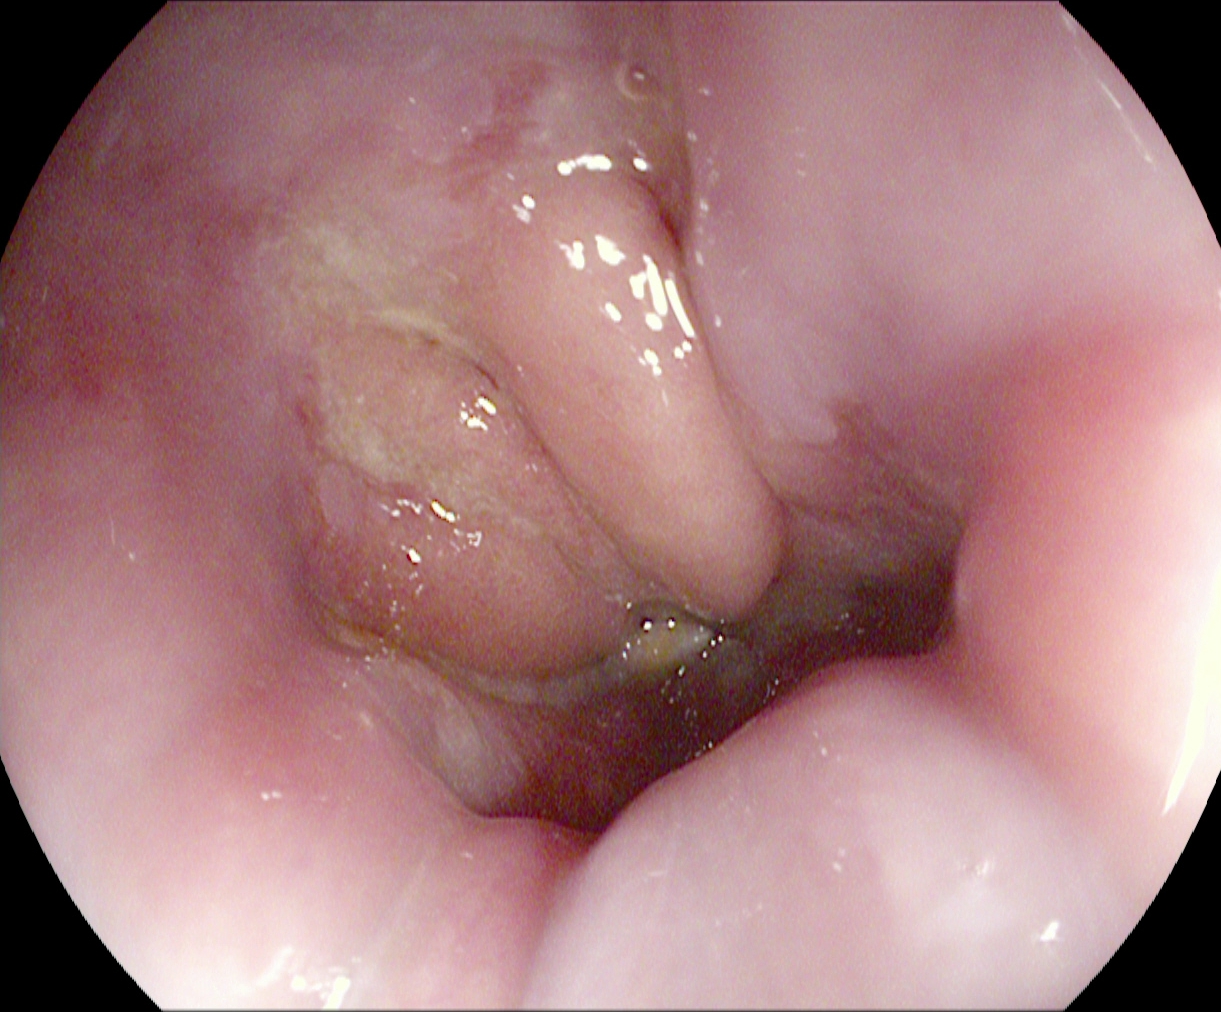Z-line (gastroesophageal junction).